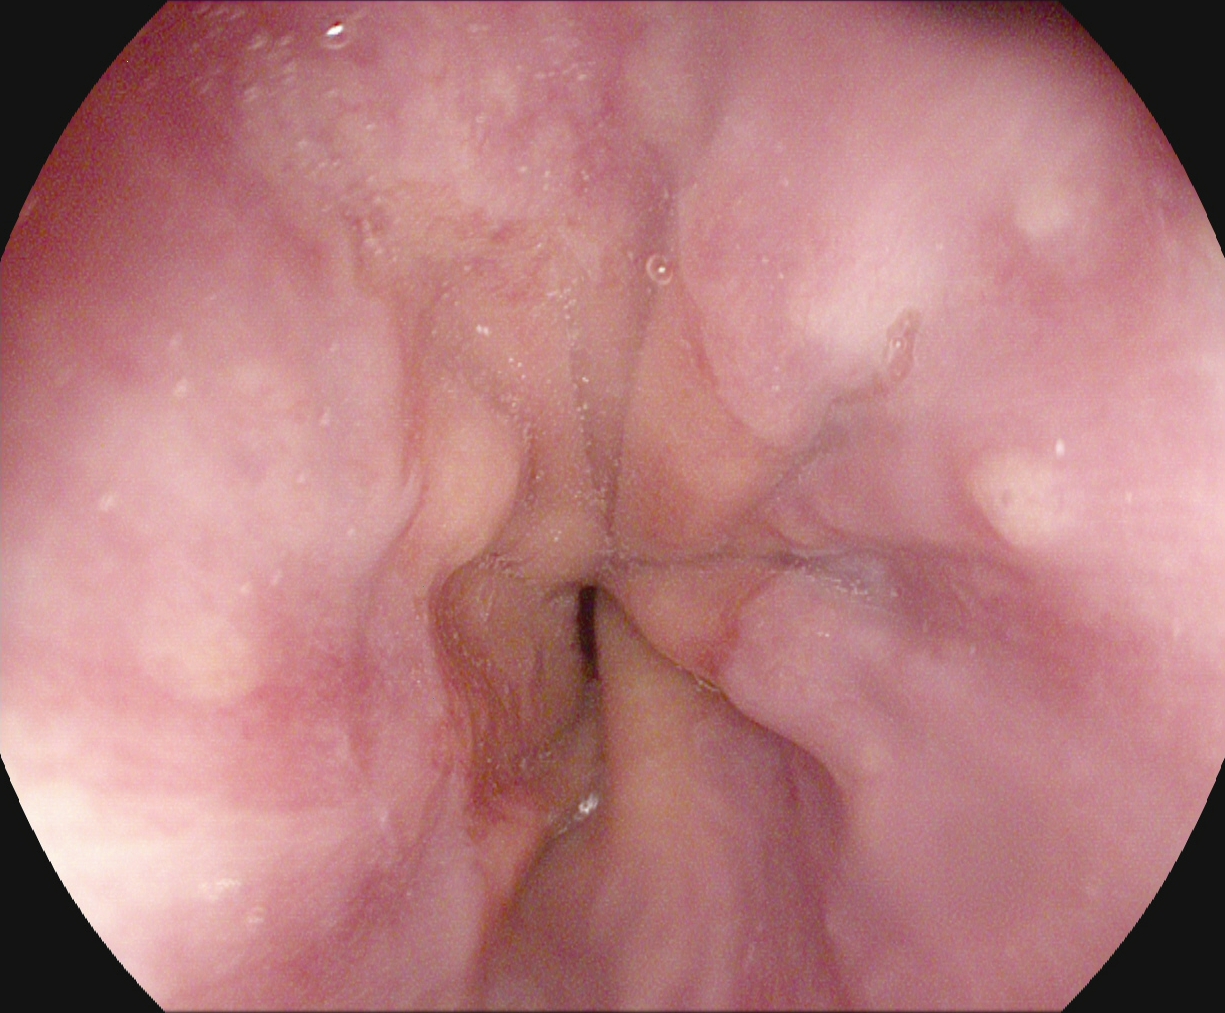Z-line (gastroesophageal junction).